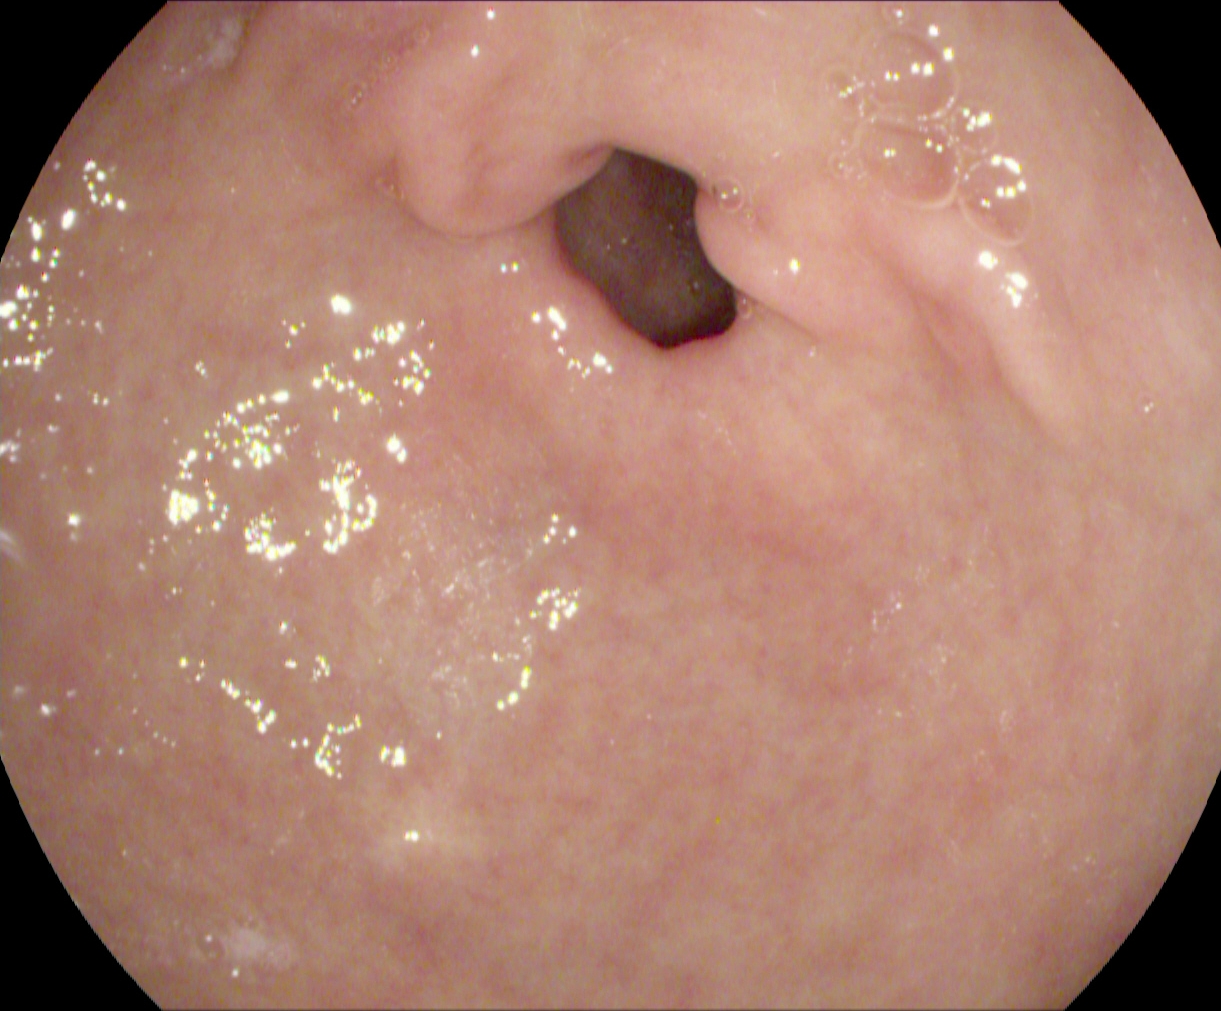PROCEDURE: EGD.
CATEGORY: Anatomical landmark.
FINDINGS: Pylorus.